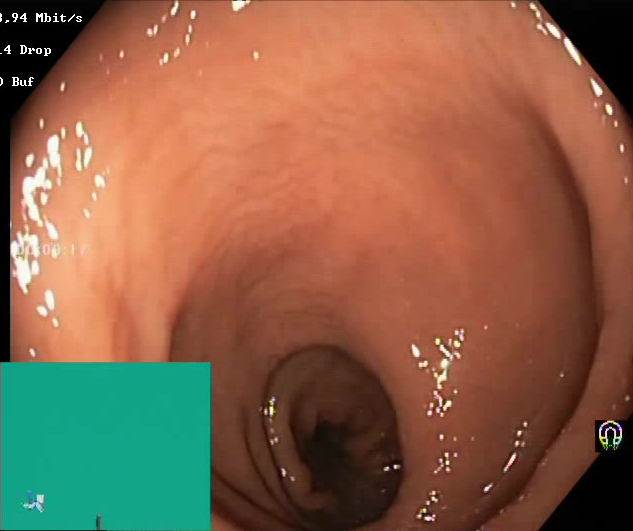modality: lower-GI endoscopy
tract: lower GI tract
category: mucosal-view quality
finding: Boston Bowel Preparation Scale score 2–3 (adequate preparation)